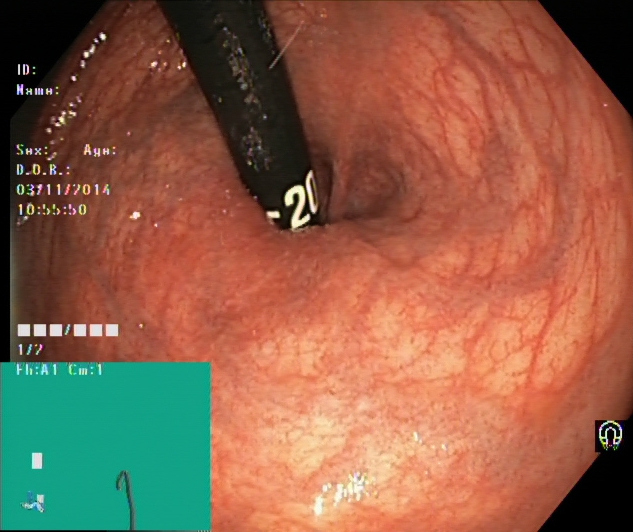{"modality": "colonoscopy", "category": "anatomical landmark", "finding": "rectum in retroflexion"}